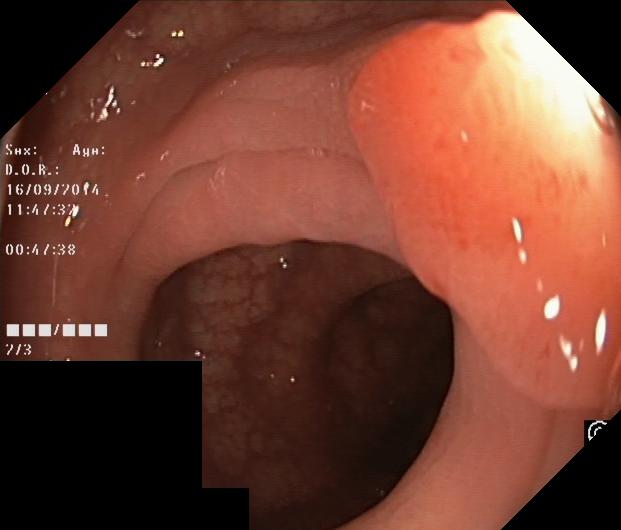GI endoscopy image of the lower GI tract showing colorectal polyp(s).